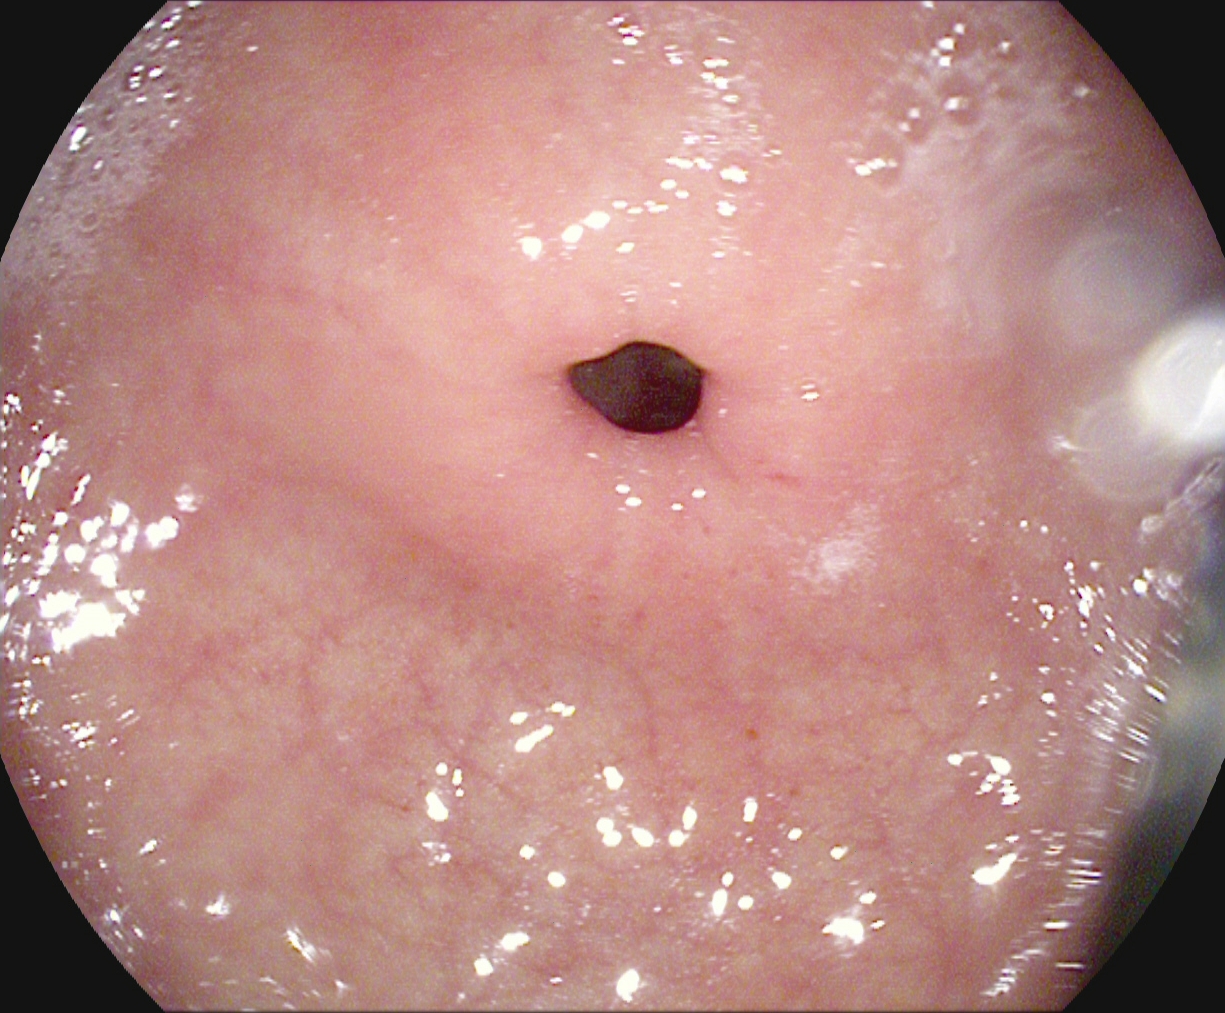Pylorus.